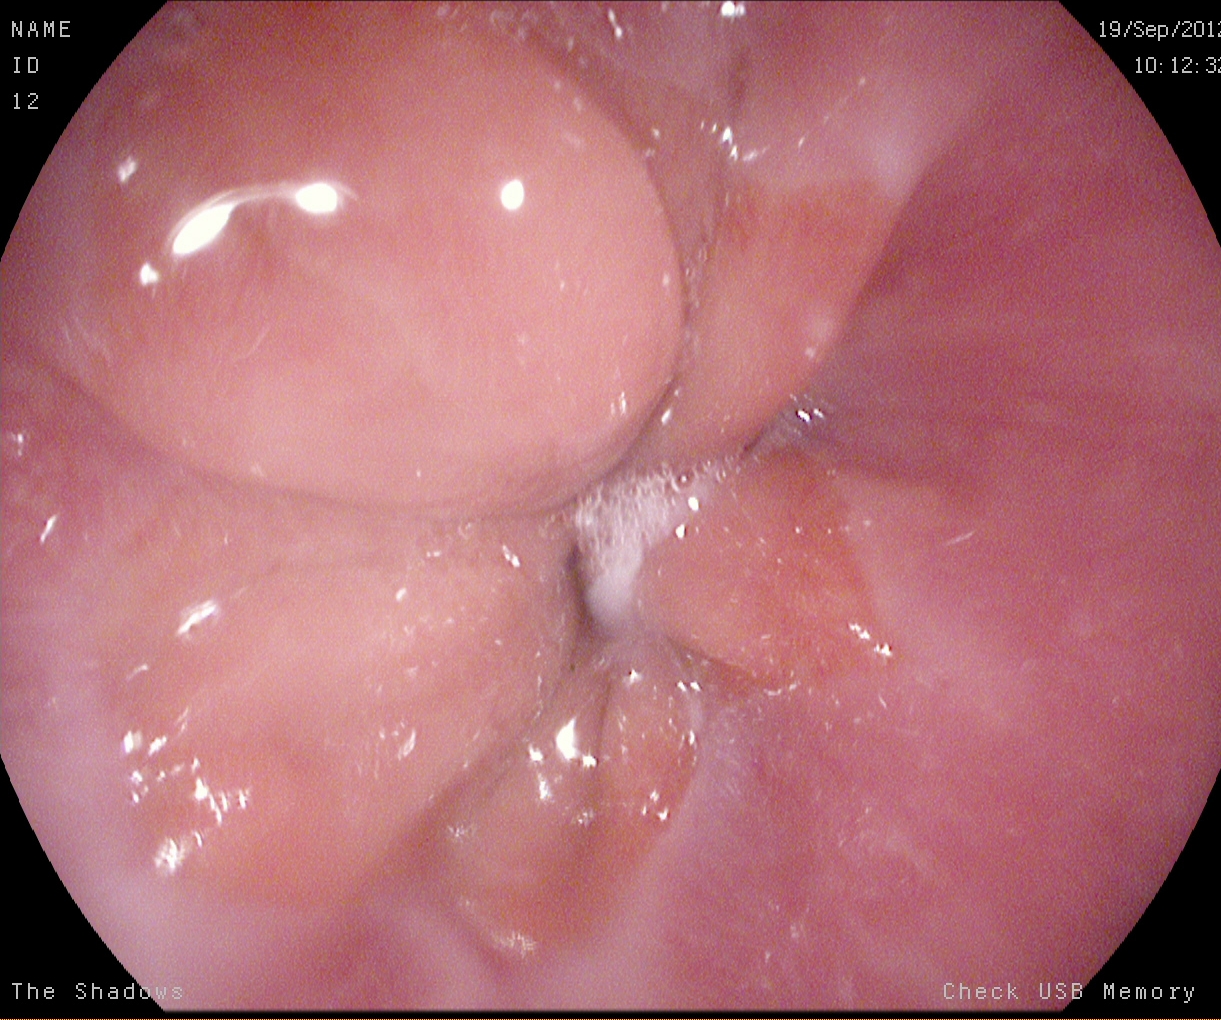Z-line (gastroesophageal junction).